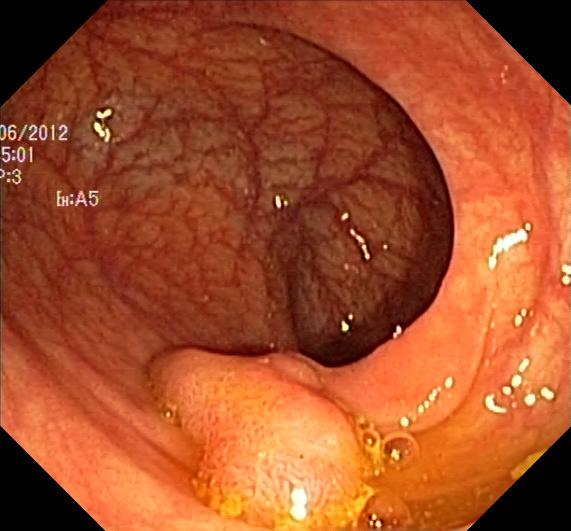modality: lower-GI endoscopy; finding: colorectal polyp(s)